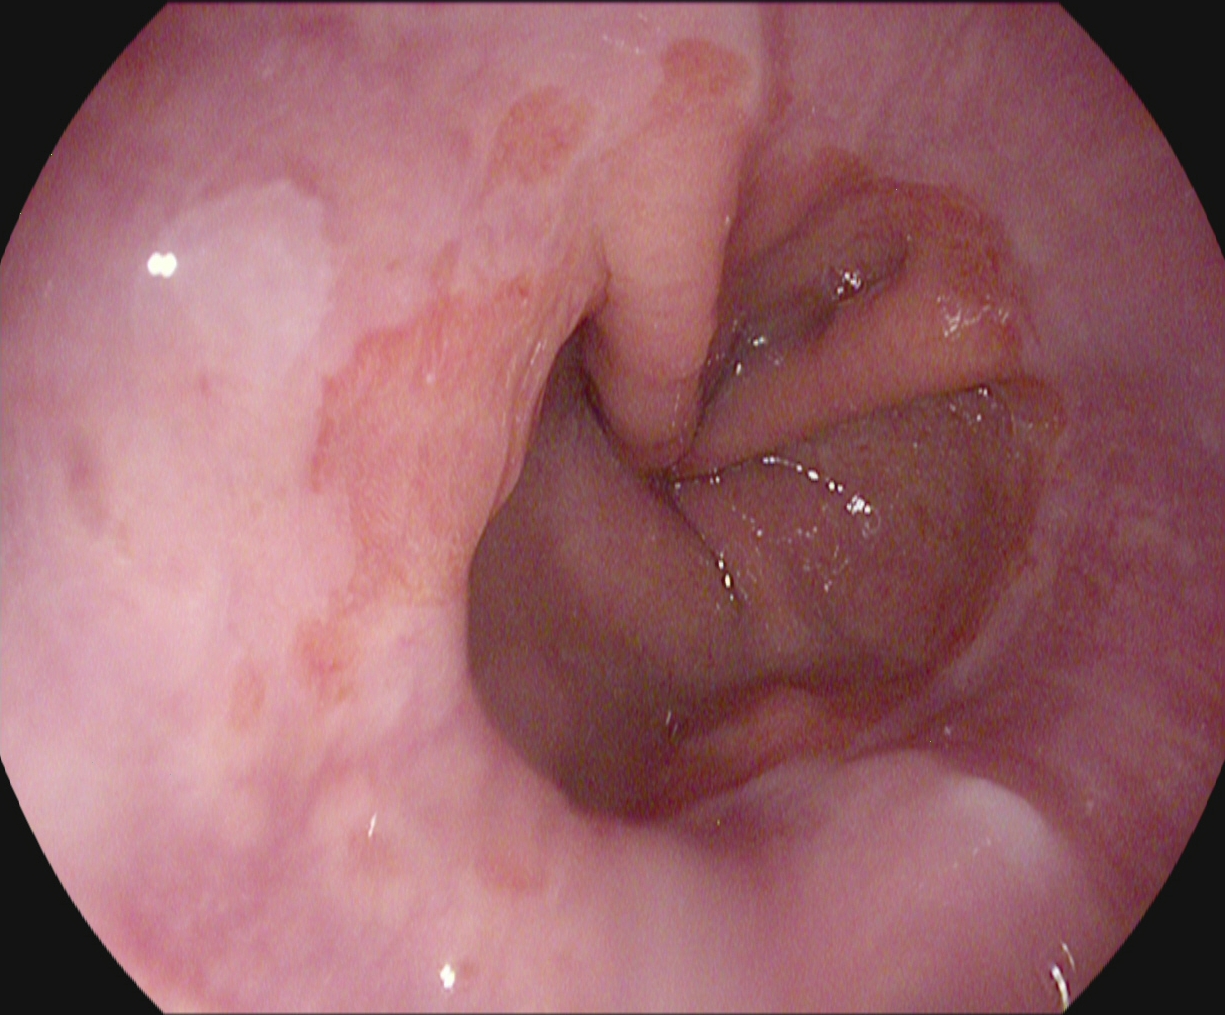{"modality": "upper-GI endoscopy", "category": "anatomical landmark", "finding": "Z-line (gastroesophageal junction)"}